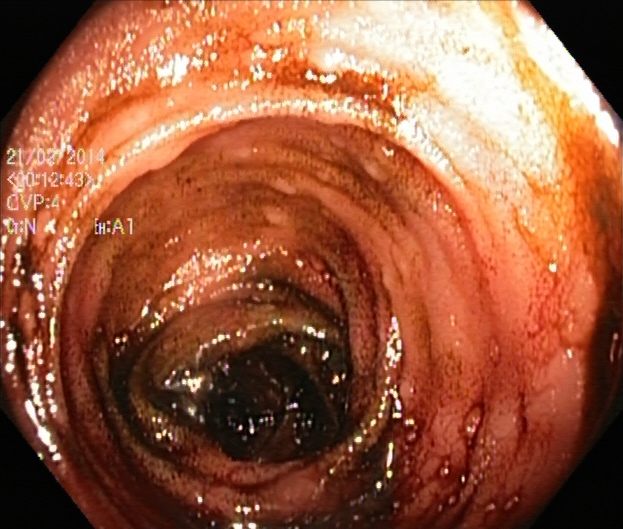{"modality": "lower-GI endoscopy", "finding": "terminal ileum"}